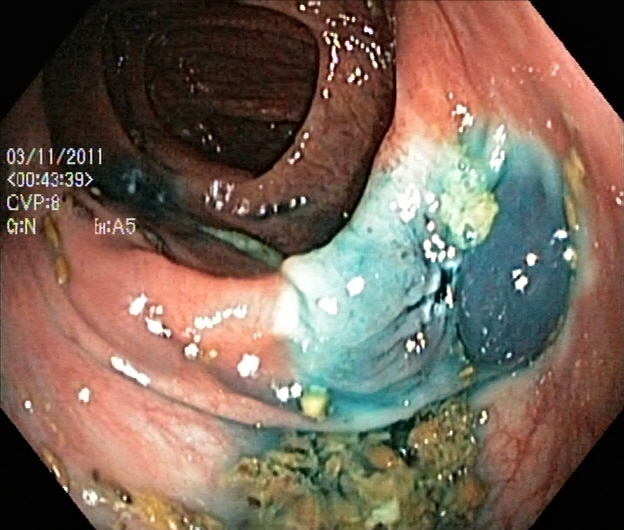This endoscopy frame of the lower GI tract shows dyed resection margins (post-polypectomy).